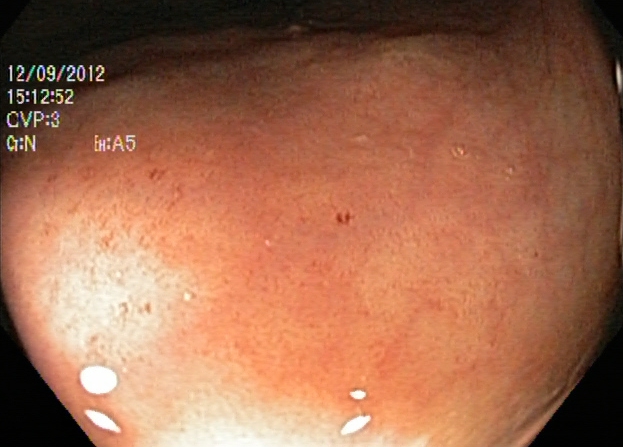Ulcerative colitis, Mayo endoscopic subscore 1.